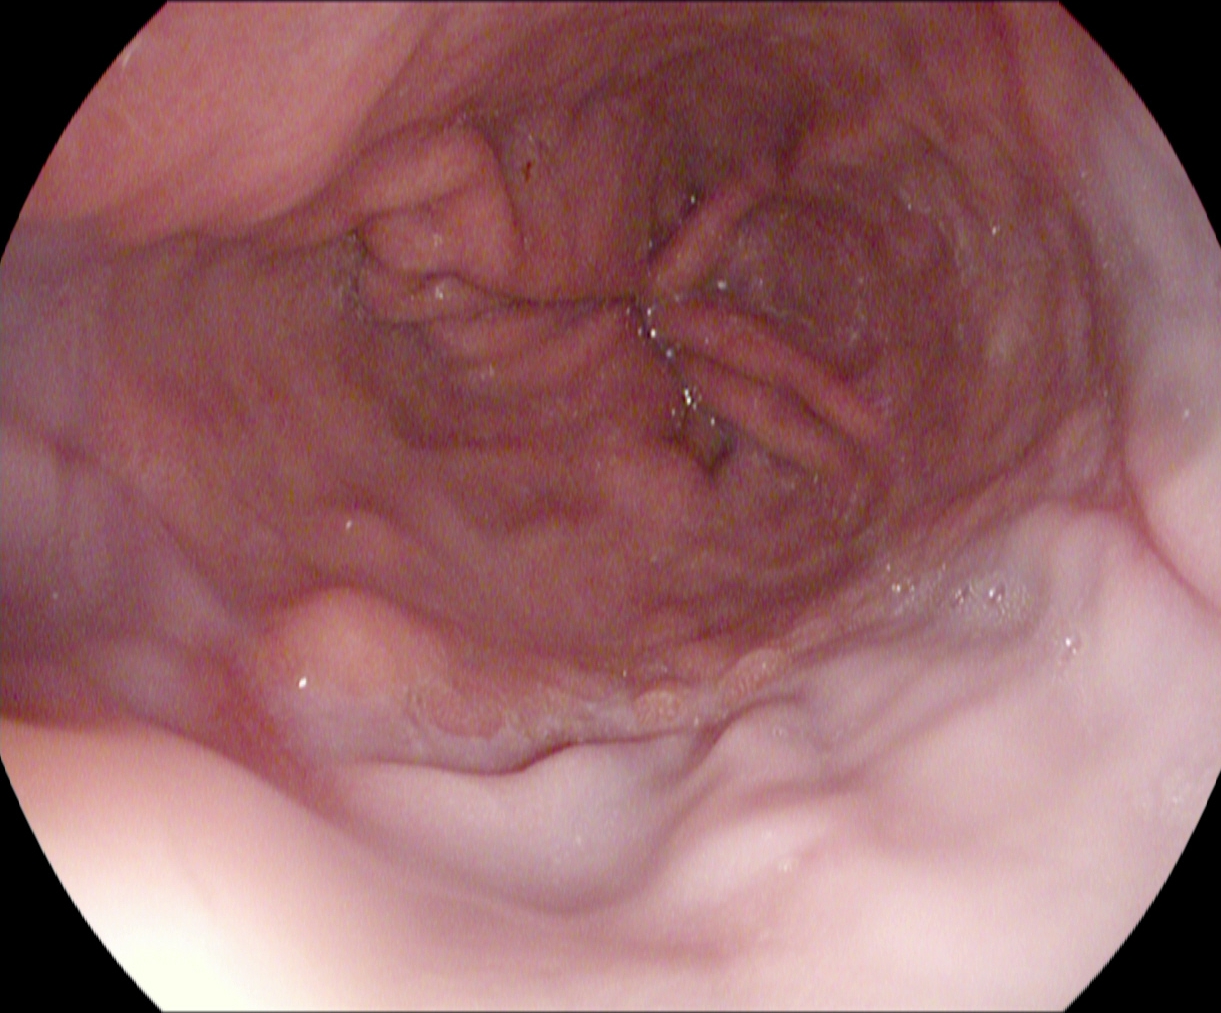This endoscopic image of the upper GI tract shows reflux esophagitis, Los Angeles grade A.